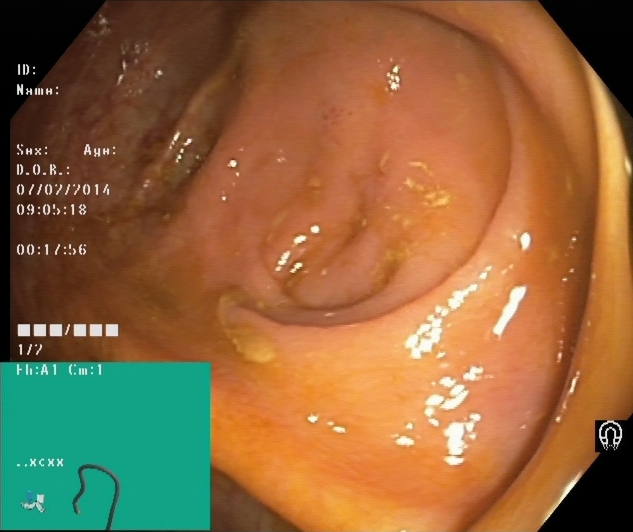{"modality": "colonoscopy", "category": "anatomical landmark", "finding": "cecum"}